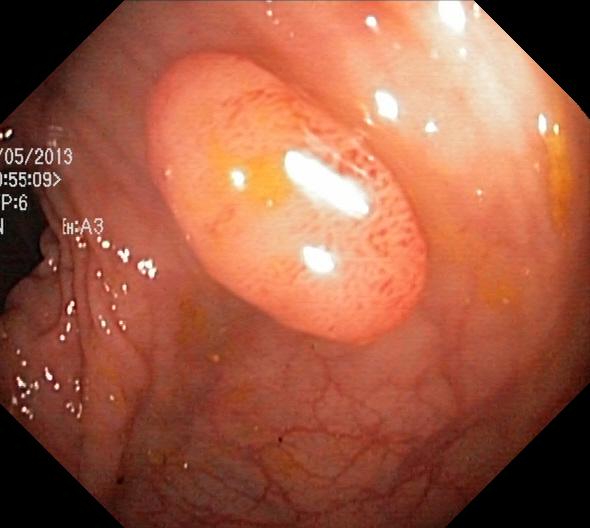{"modality": "lower-GI endoscopy", "tract": "lower GI tract", "finding": "colorectal polyp(s)"}